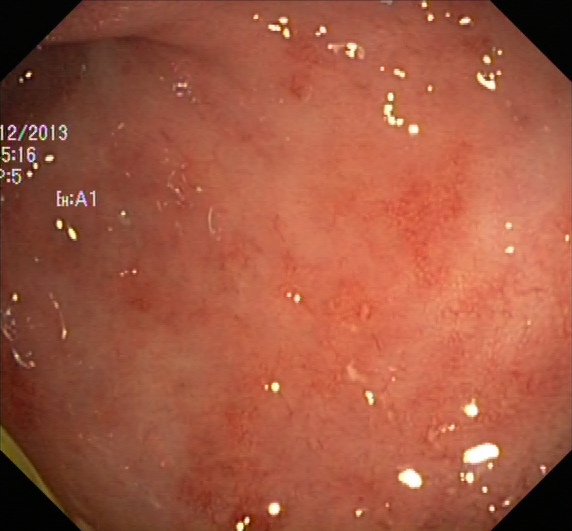modality: lower gastrointestinal endoscopy
tract: lower GI tract
finding: ulcerative colitis, Mayo endoscopic subscore 1